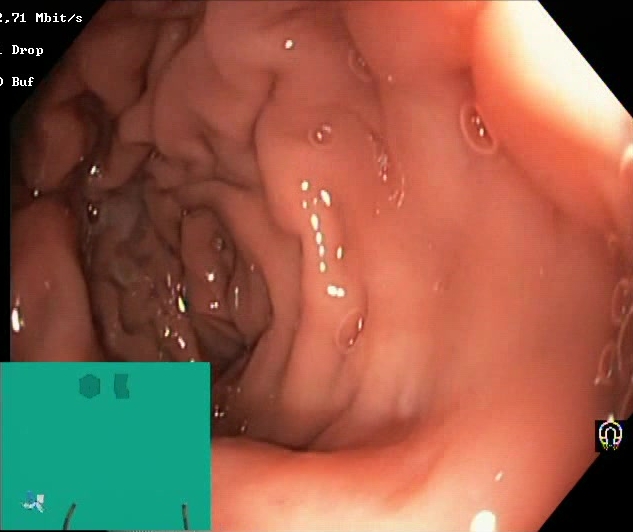Boston Bowel Preparation Scale score 2–3 (adequate preparation).